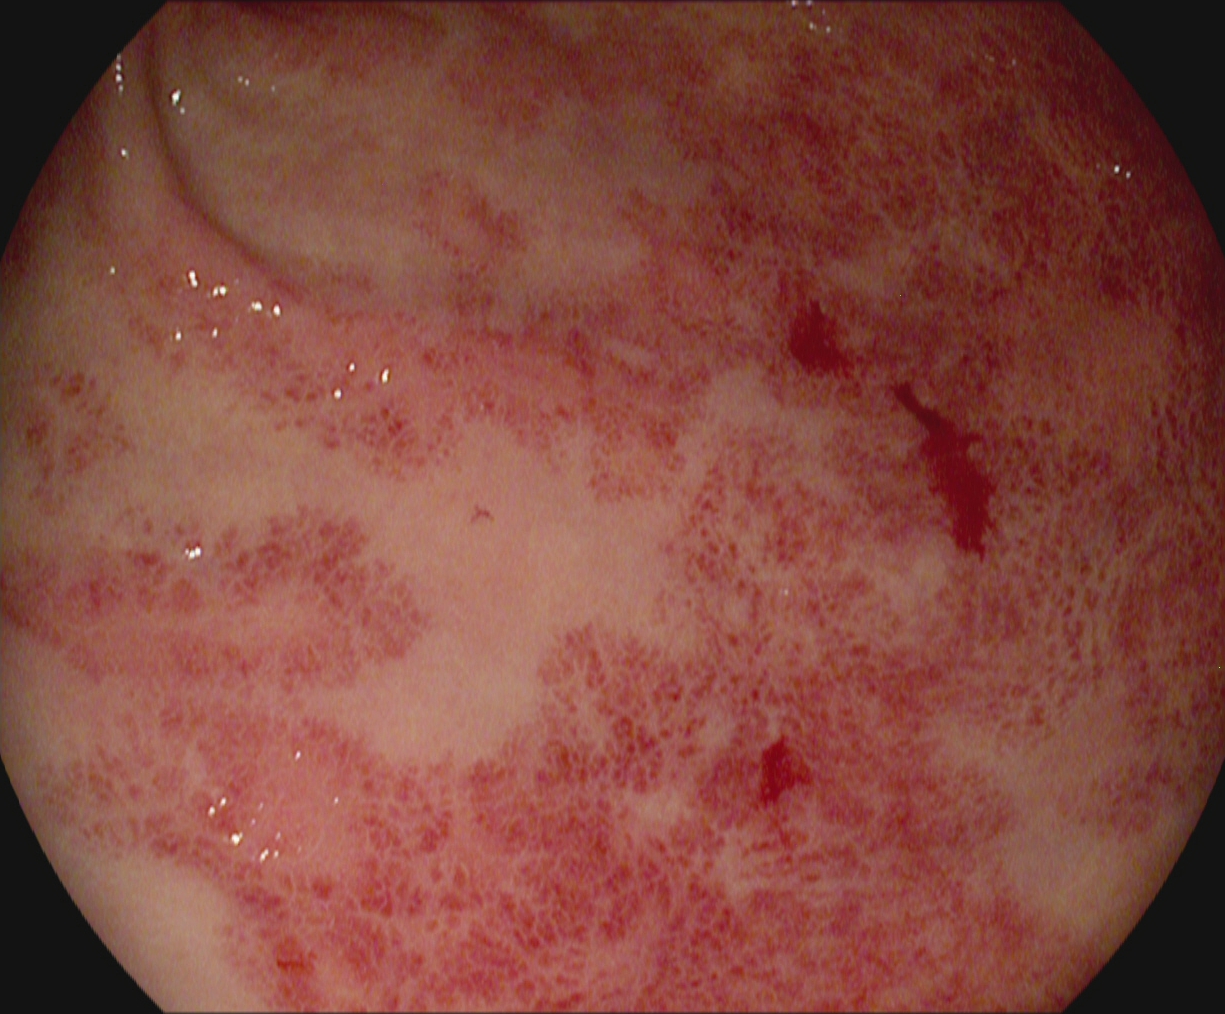modality: colonoscopy; tract: lower GI tract; finding: ulcerative colitis, Mayo endoscopic subscore 2